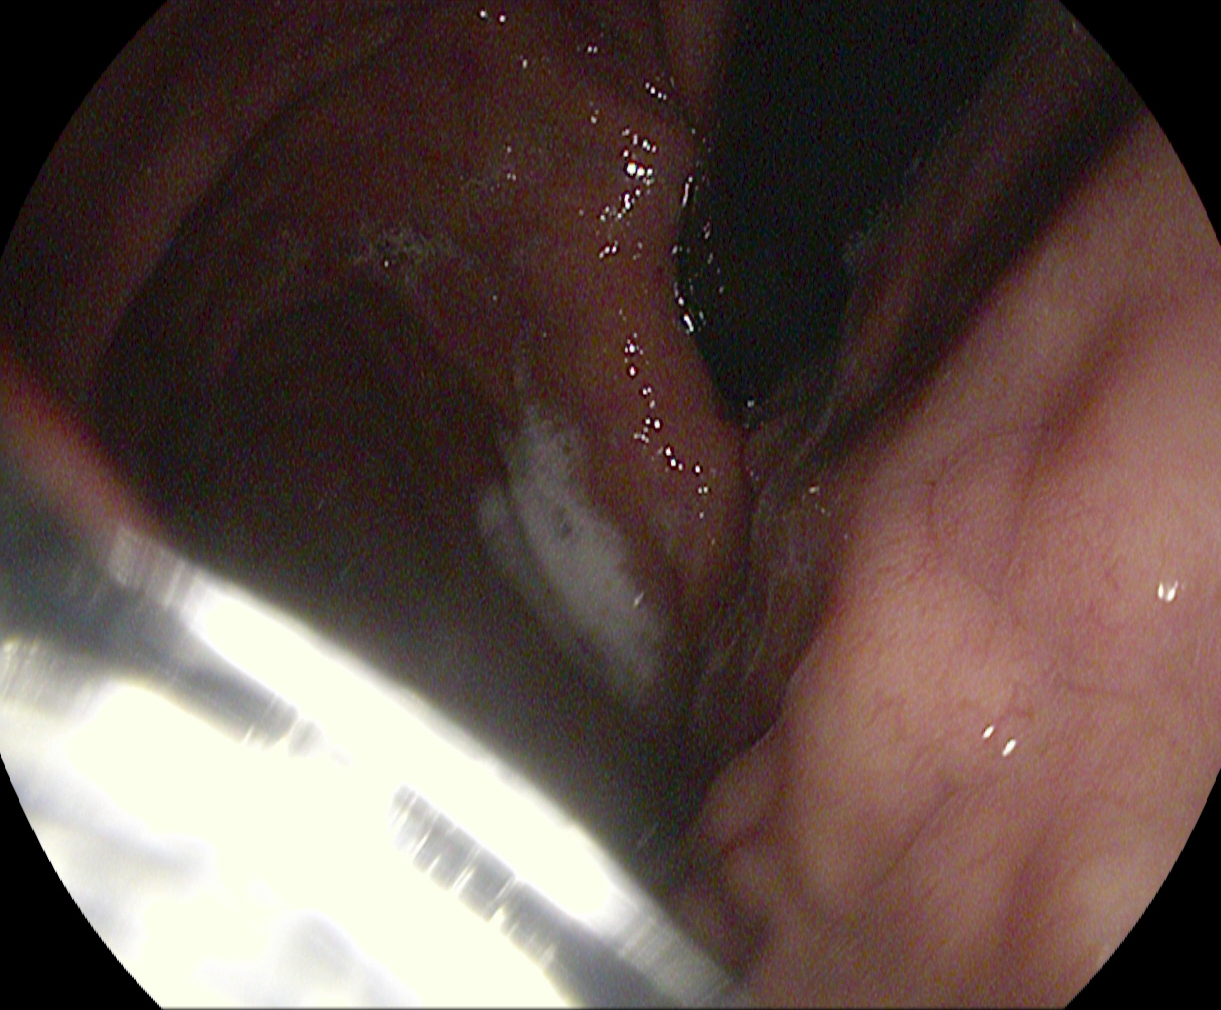modality: EGD
category: anatomical landmark
finding: stomach in retroflexion